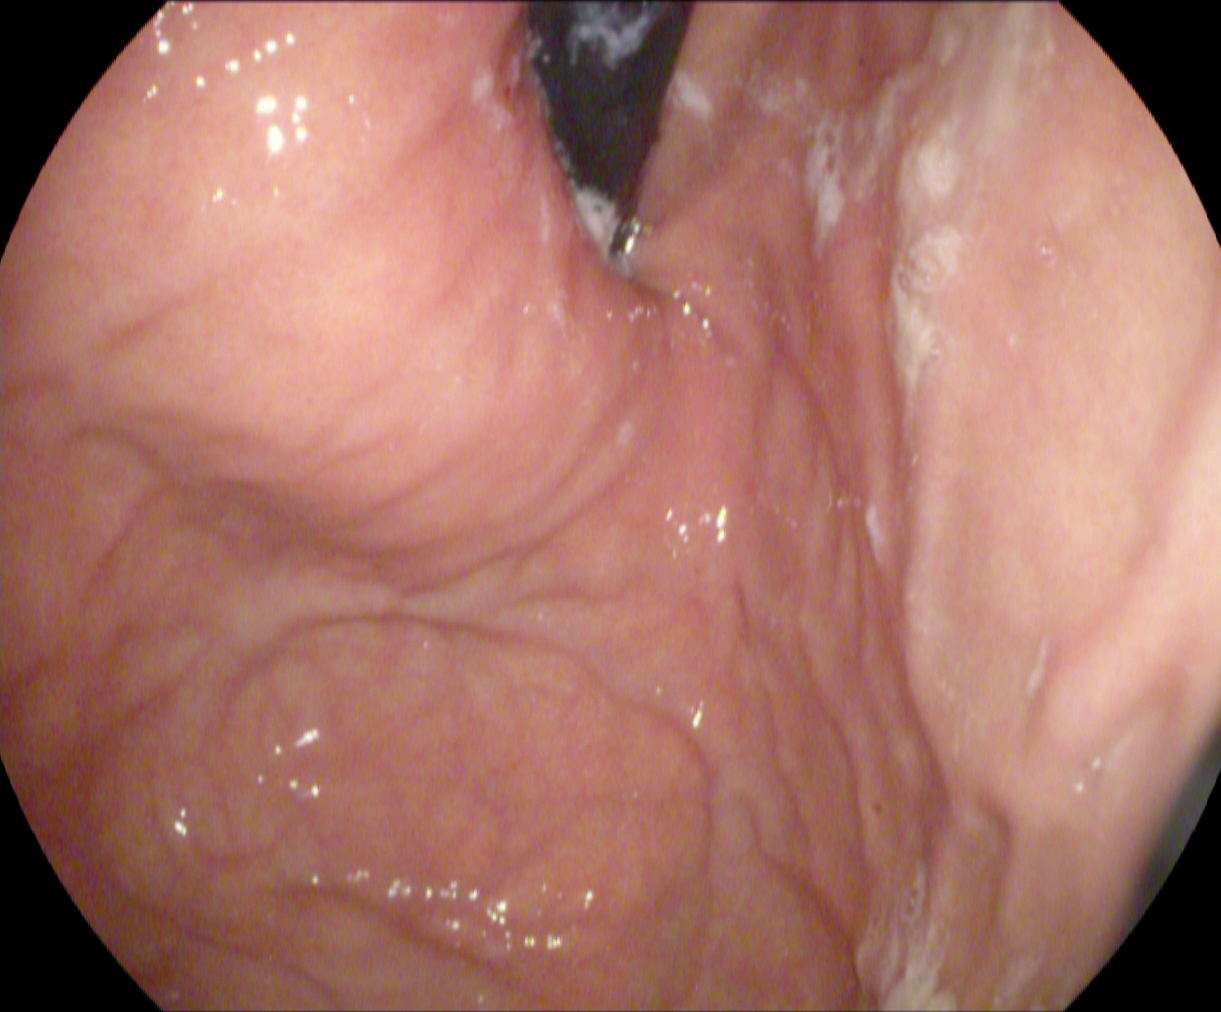{"modality": "gastroscopy", "tract": "upper GI tract", "finding": "stomach in retroflexion"}